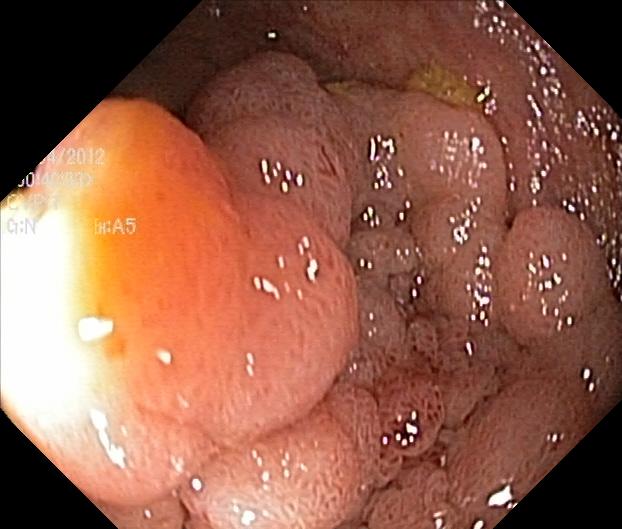{"modality": "lower gastrointestinal endoscopy", "finding": "colorectal polyp(s)"}